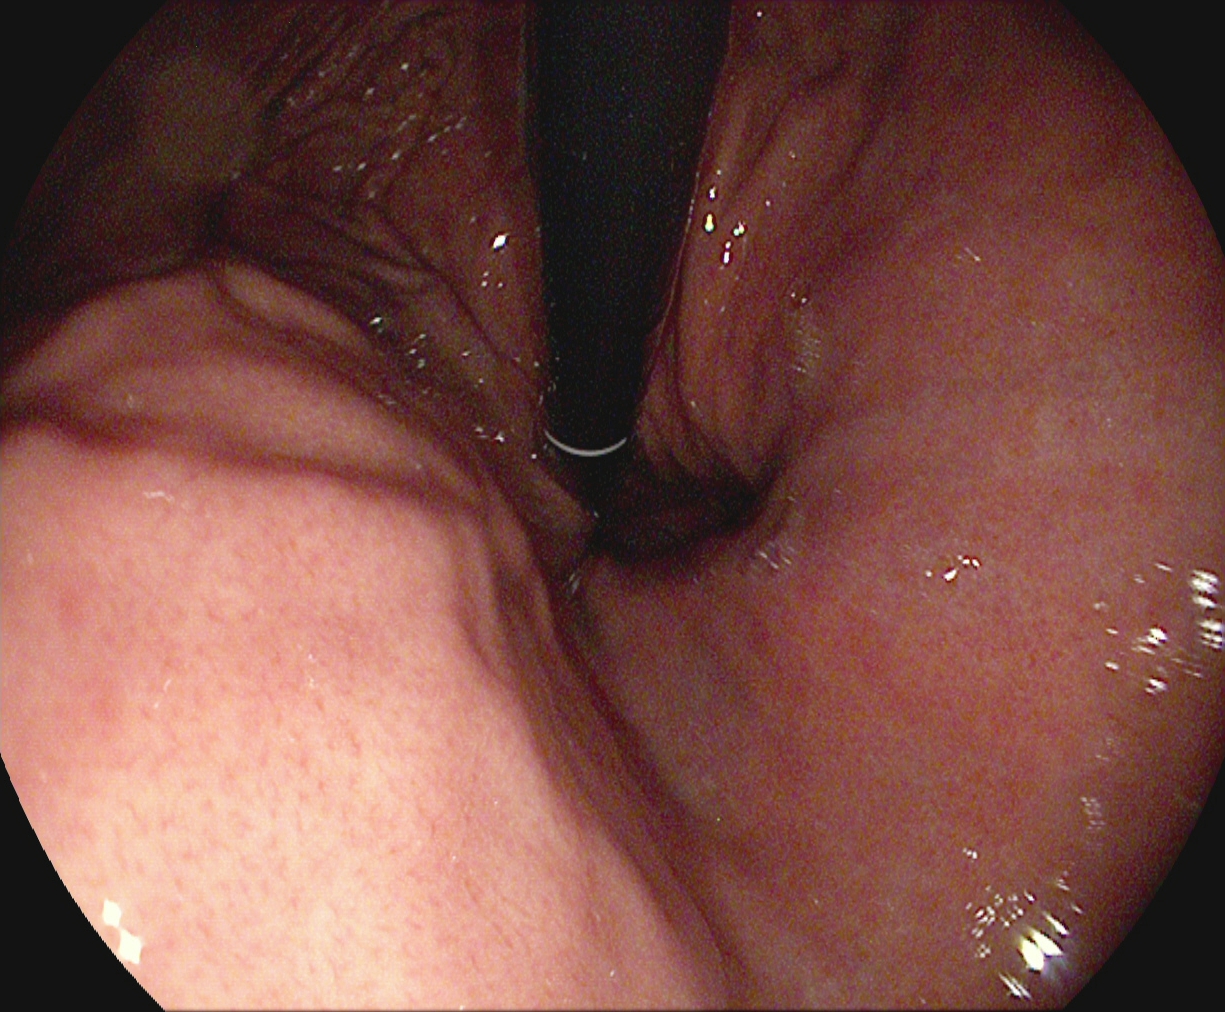EGD. Tract: upper GI tract. Anatomical landmark. Finding: stomach in retroflexion.